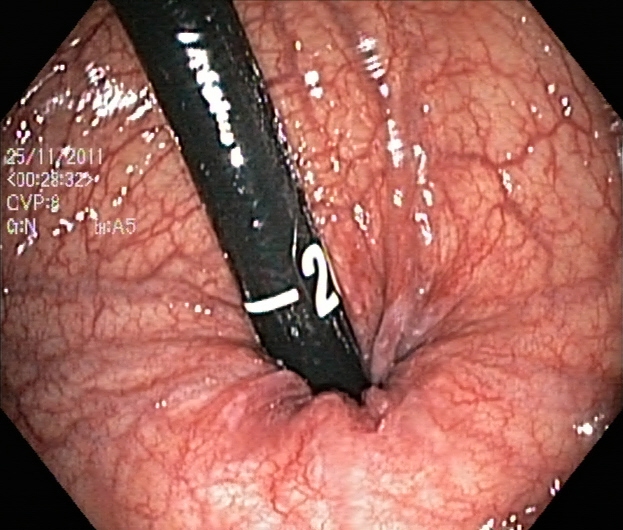Lower gastrointestinal endoscopy. Tract: lower GI tract. Finding: rectum in retroflexion.